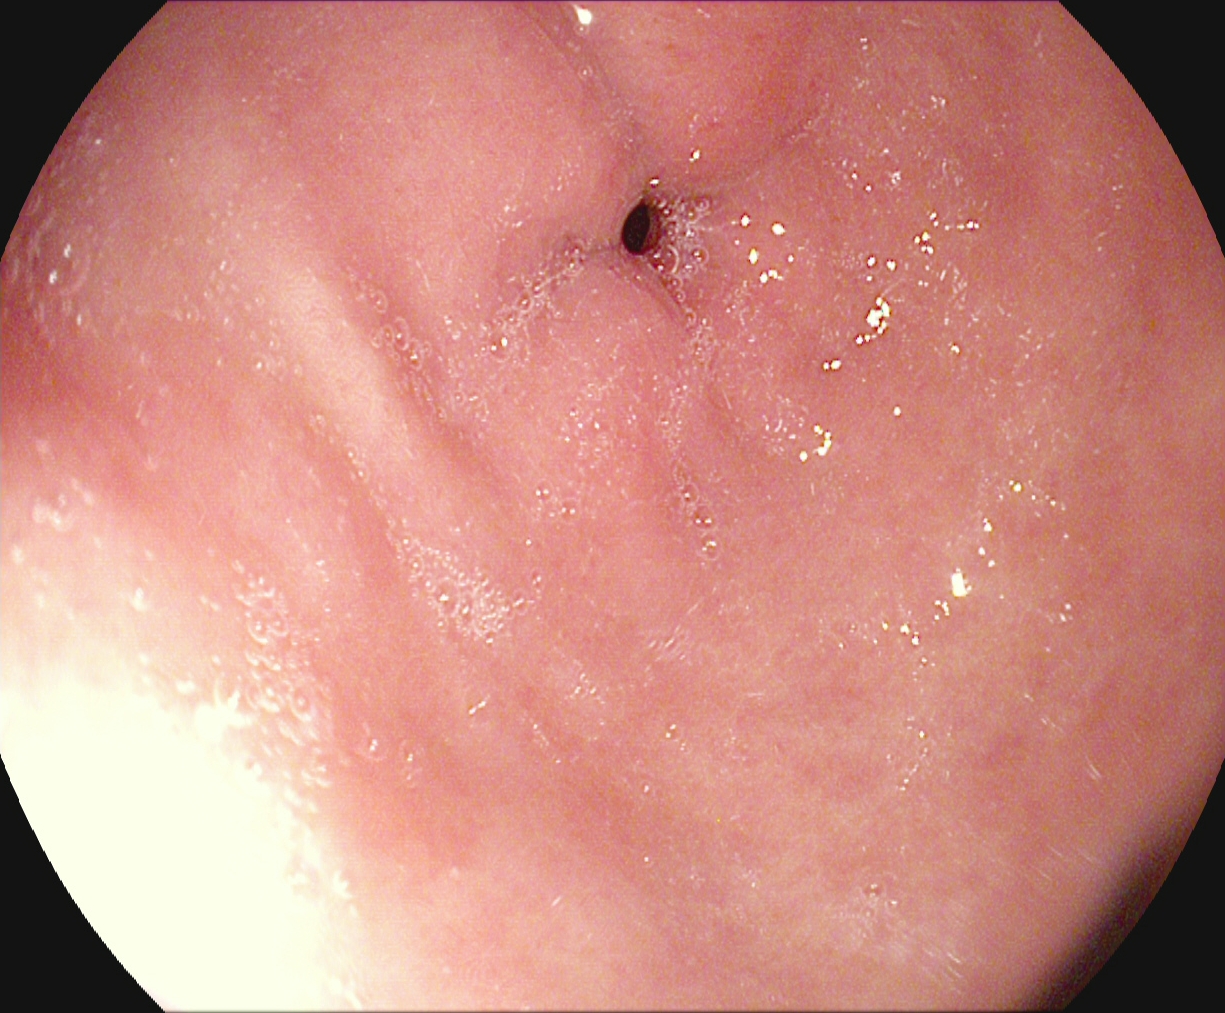This endoscopic image of the upper GI tract shows pylorus.